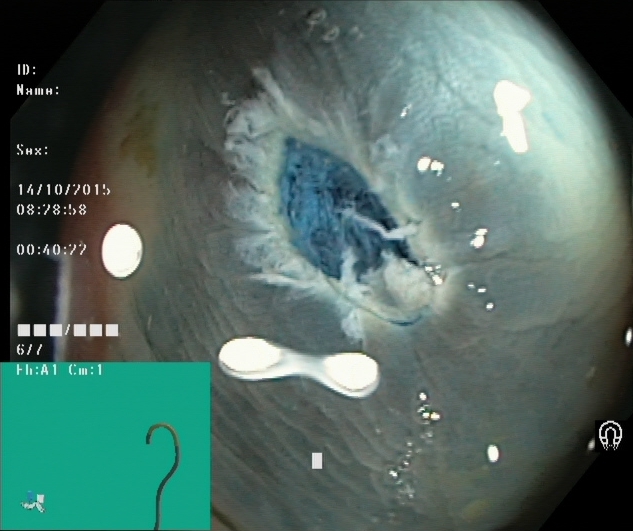PROCEDURE: Lower-GI endoscopy.
FINDINGS: Dyed resection margins (post-polypectomy).